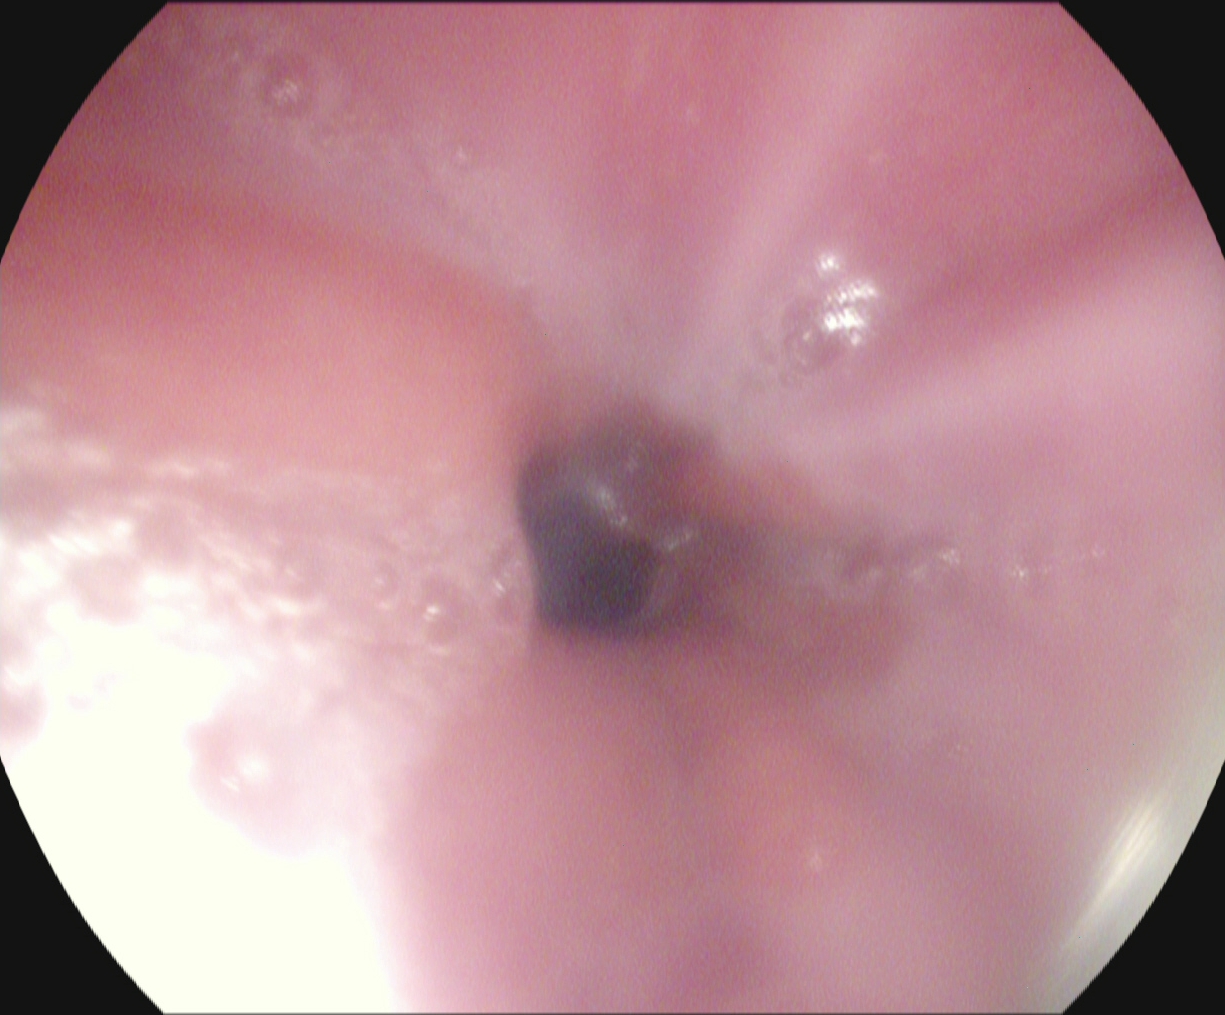modality: upper-GI endoscopy
tract: upper GI tract
finding: Z-line (gastroesophageal junction)